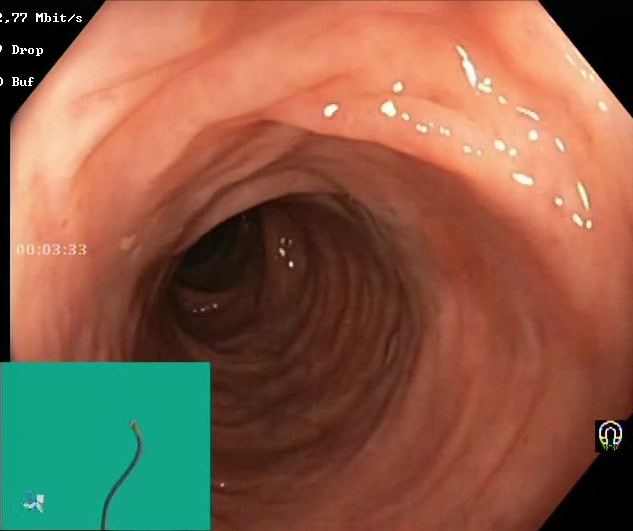modality: lower gastrointestinal endoscopy; finding: Boston Bowel Preparation Scale score 2–3 (adequate preparation)